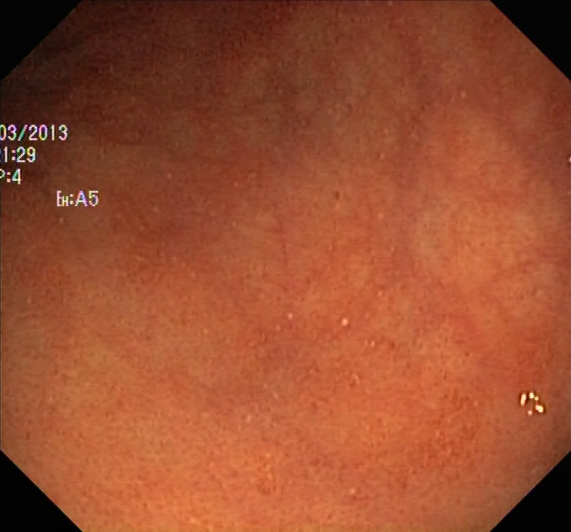Lower-GI endoscopy. Finding: ulcerative colitis, Mayo endoscopic subscore 1.